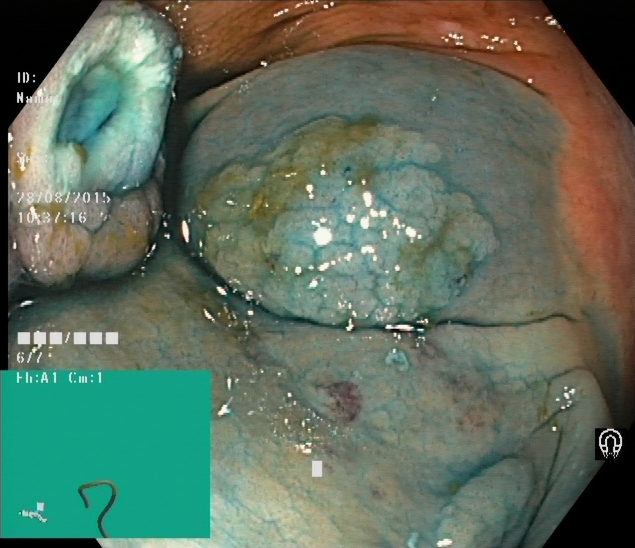{"modality": "lower gastrointestinal endoscopy", "tract": "lower GI tract", "finding": "dyed and lifted polyp (pre-resection)"}